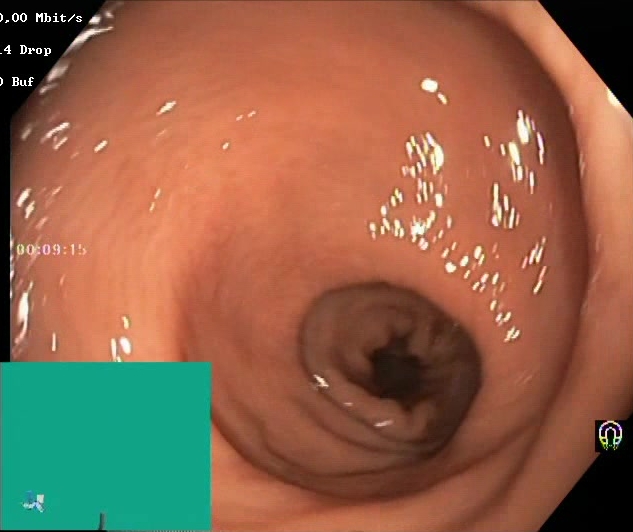Boston Bowel Preparation Scale score 2–3 (adequate preparation).